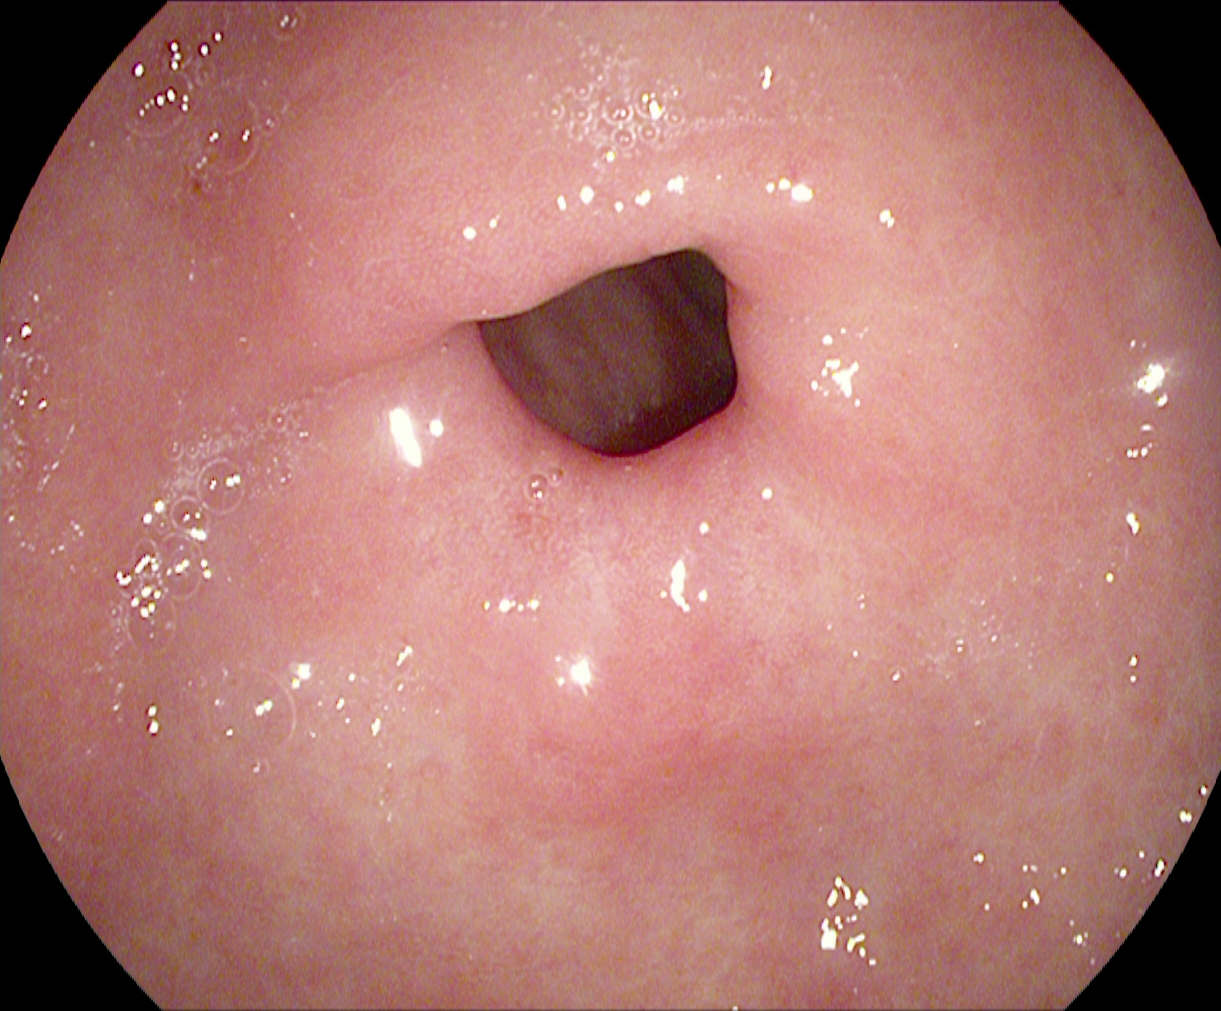Pylorus.